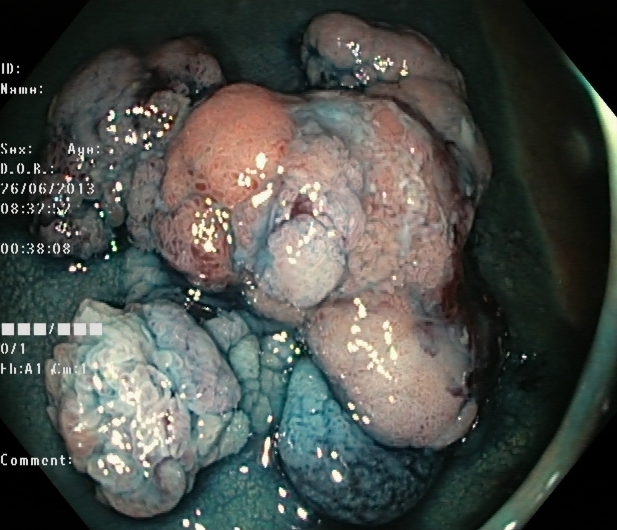{"modality": "colonoscopy", "tract": "lower GI tract", "finding": "dyed and lifted polyp (pre-resection)"}